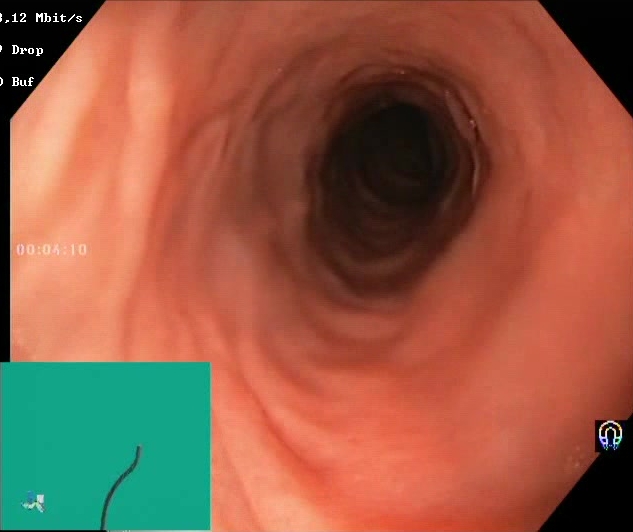{"modality": "lower-GI endoscopy", "tract": "lower GI tract", "finding": "BBPS score 2\u20133 (adequate preparation)"}